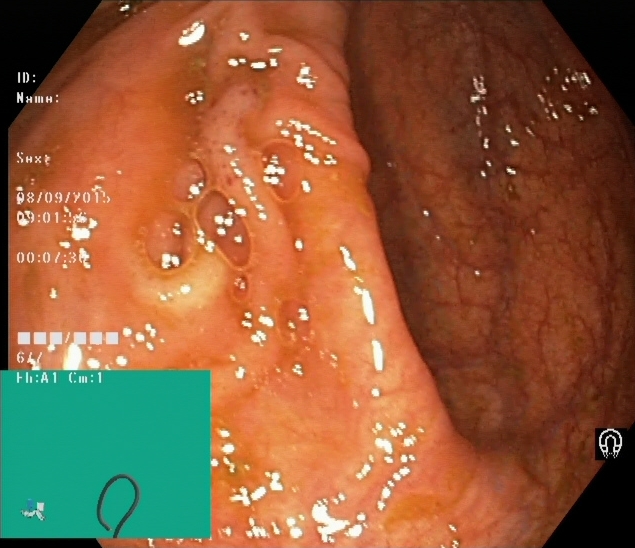Colonoscopy — cecum.